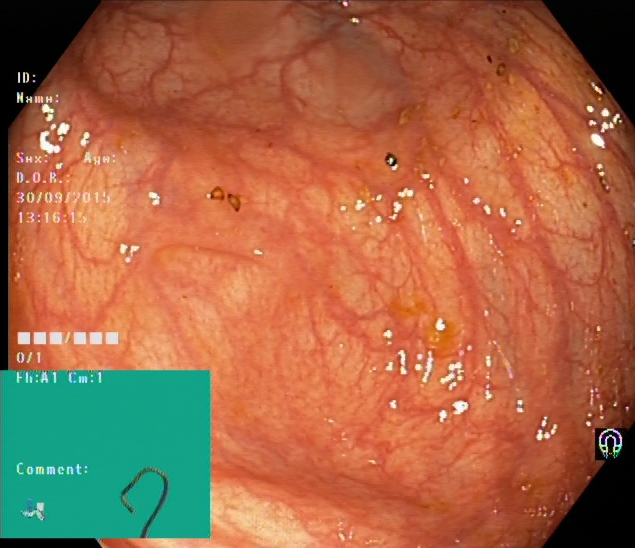Colonoscopy. Tract: lower GI tract. Anatomical landmark. Finding: cecum.